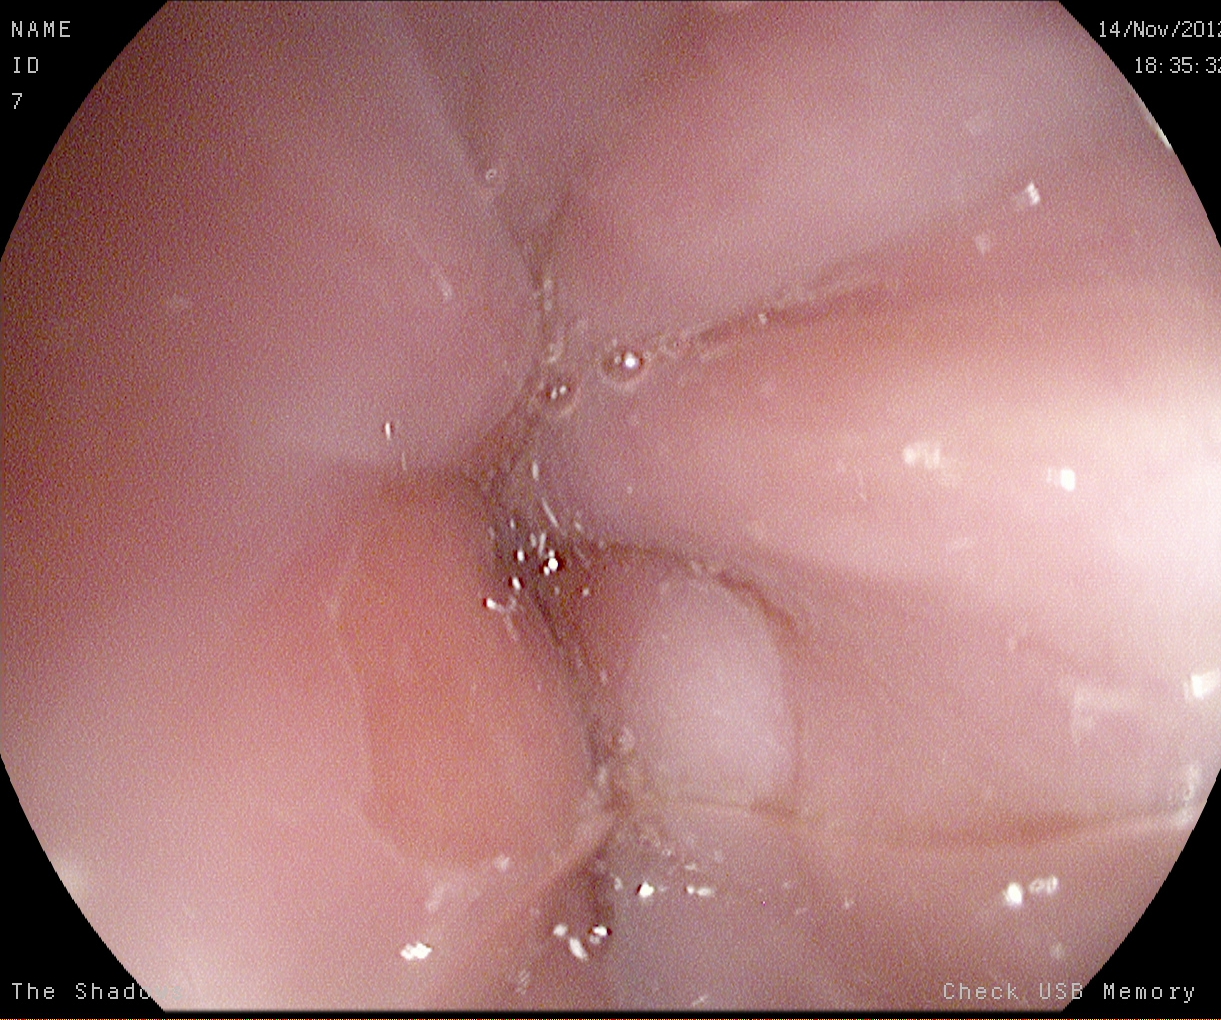Gastrointestinal endoscopy image showing Z-line (gastroesophageal junction).